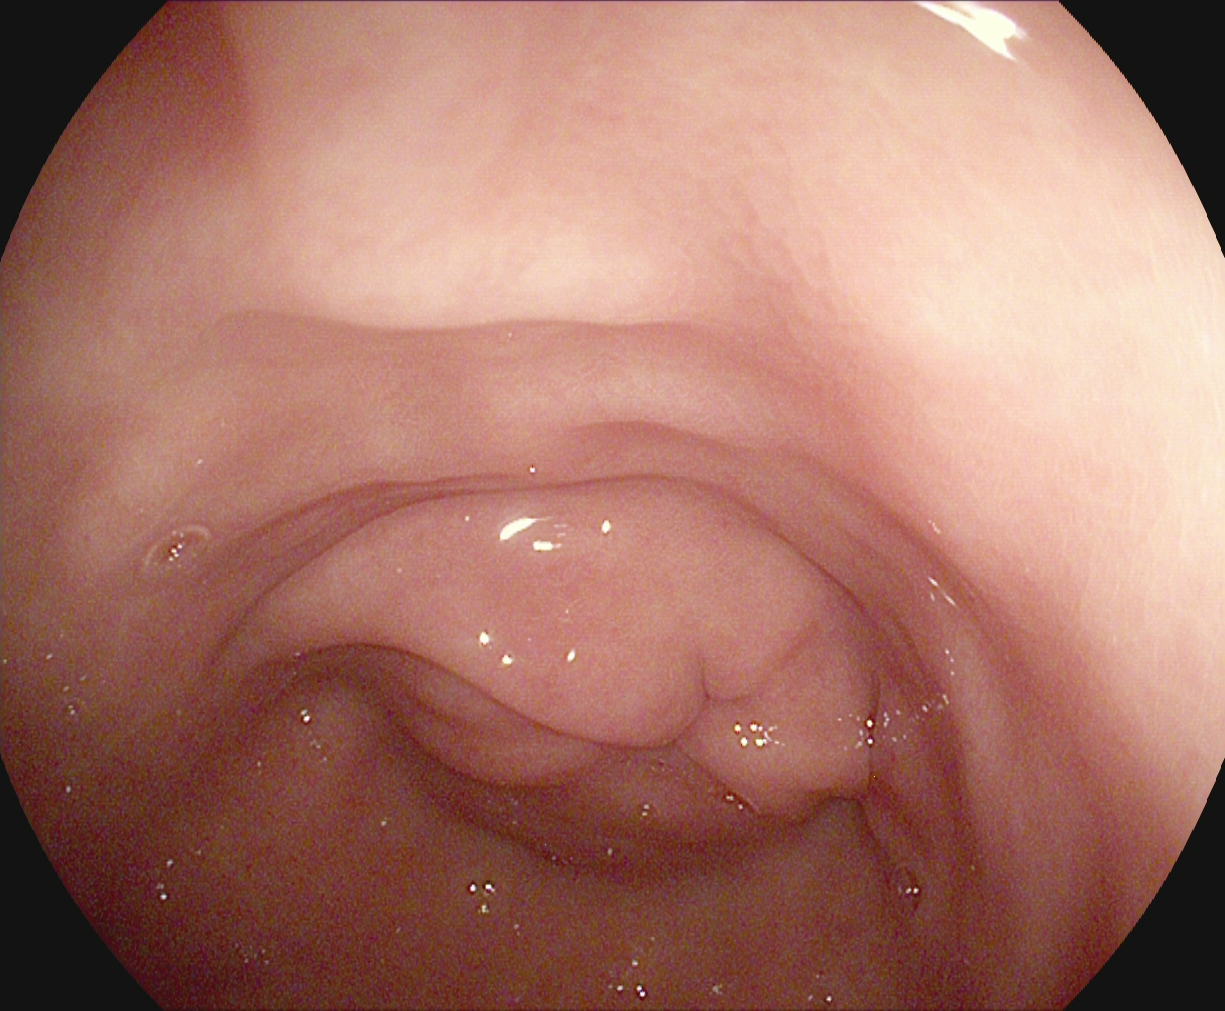PROCEDURE: Gastroscopy.
CATEGORY: Anatomical landmark.
FINDINGS: Pylorus.